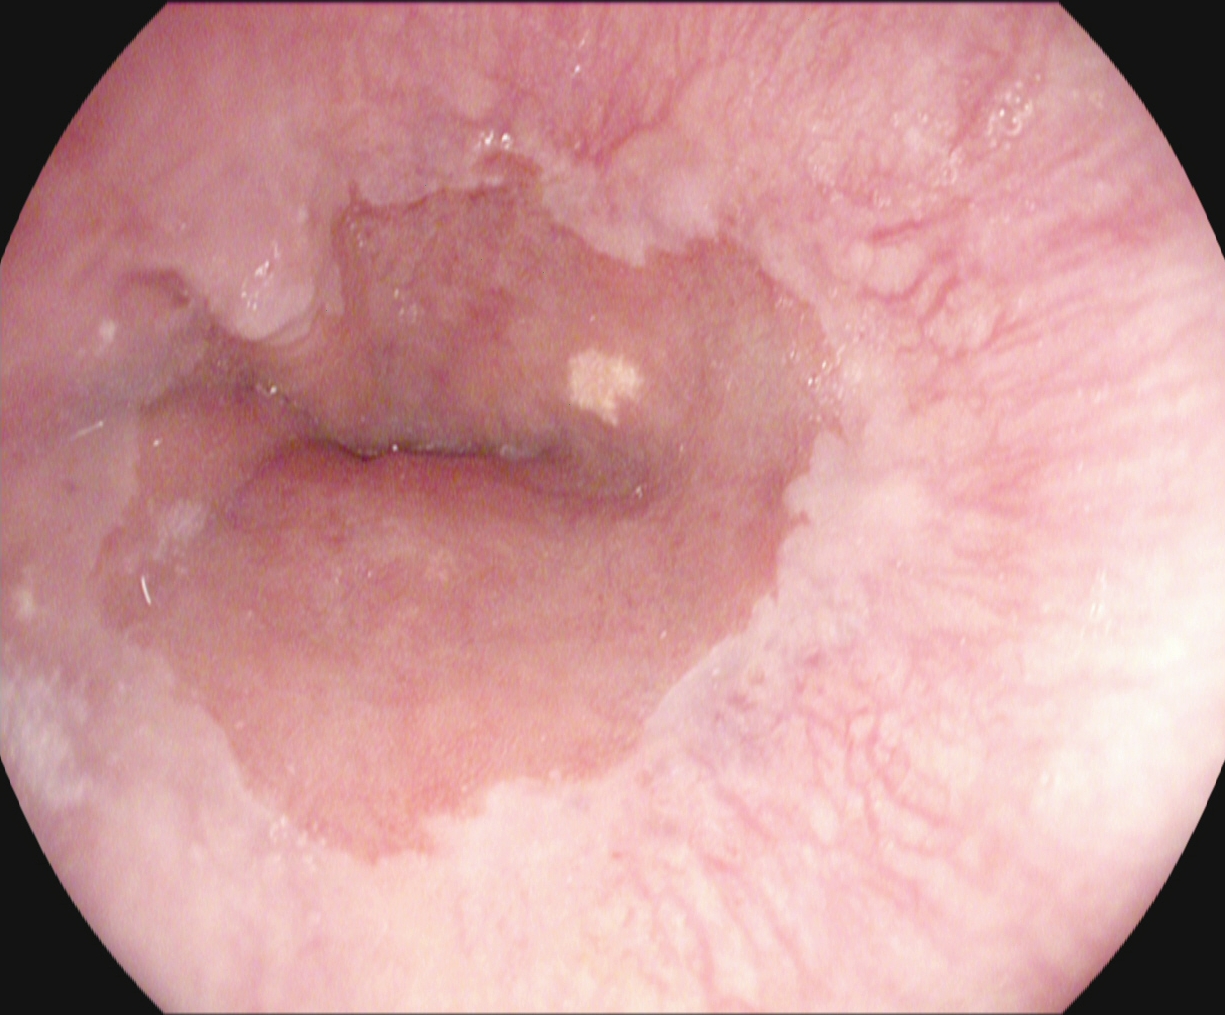This endoscopy frame shows Z-line (gastroesophageal junction).